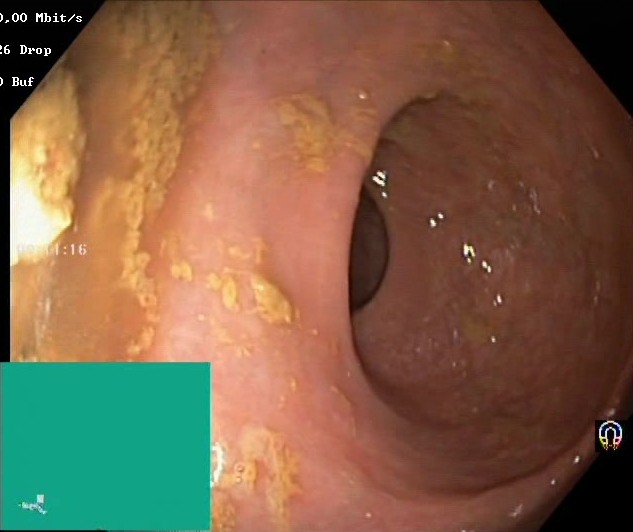This endoscopic image of the lower GI tract shows Boston Bowel Preparation Scale score 0–1 (inadequate preparation).